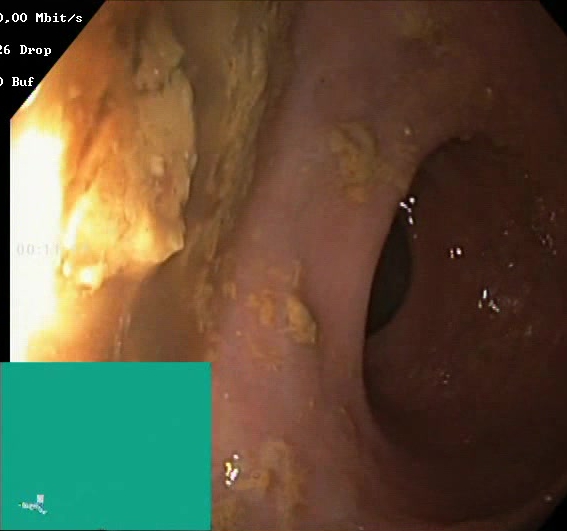{"modality": "lower gastrointestinal endoscopy", "tract": "lower GI tract", "finding": "Boston Bowel Preparation Scale score 0\u20131 (inadequate preparation)"}